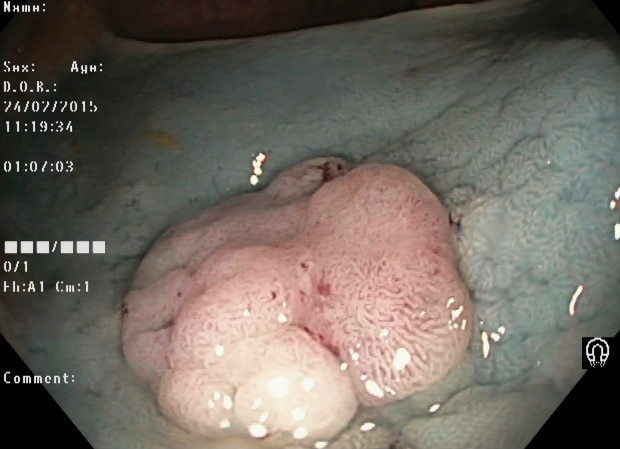modality: lower-GI endoscopy
category: therapeutic intervention
finding: dyed and lifted polyp (pre-resection)